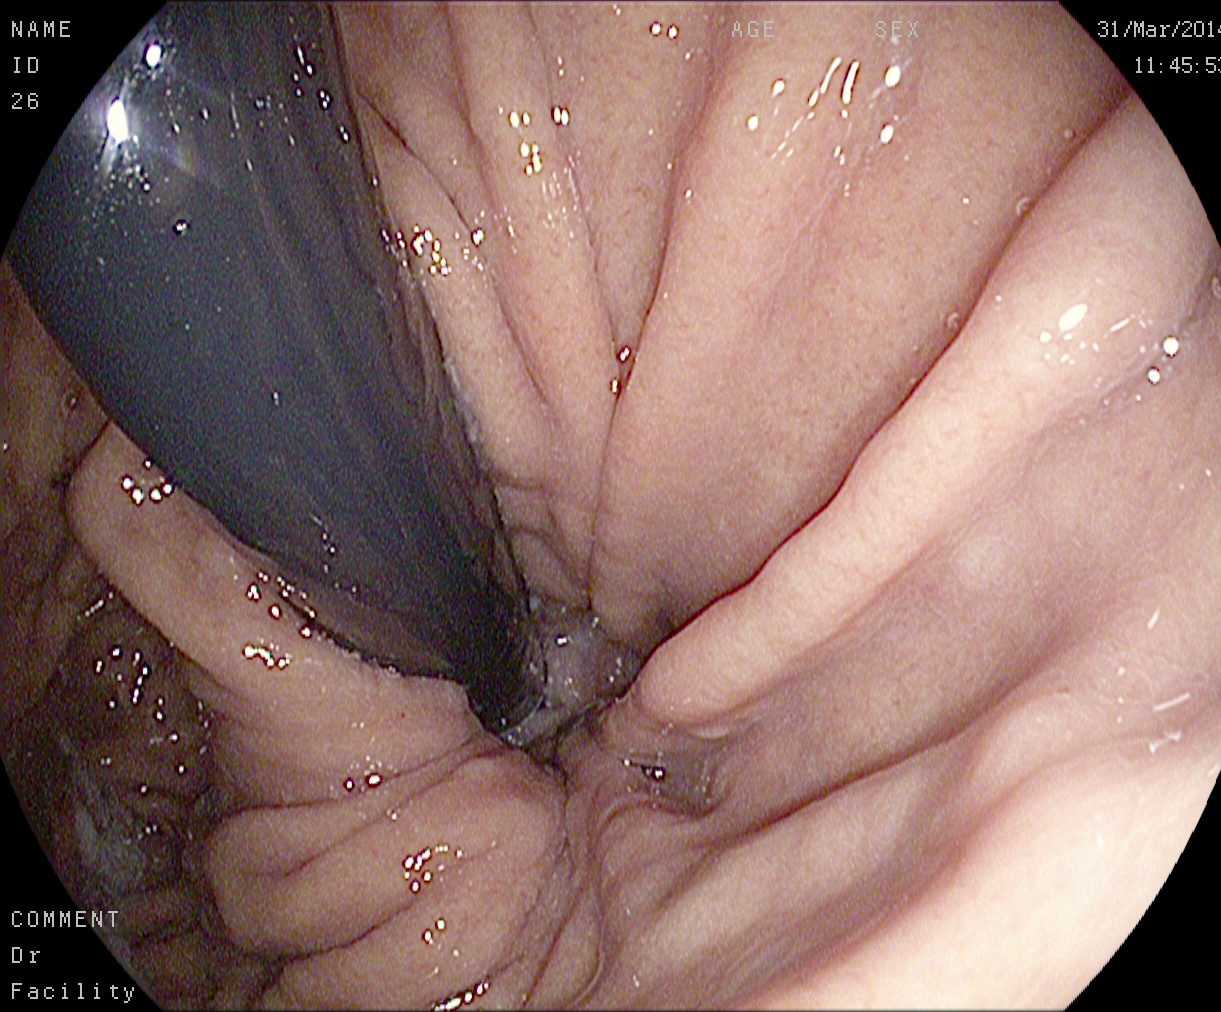Upper-GI endoscopy image showing stomach in retroflexion.